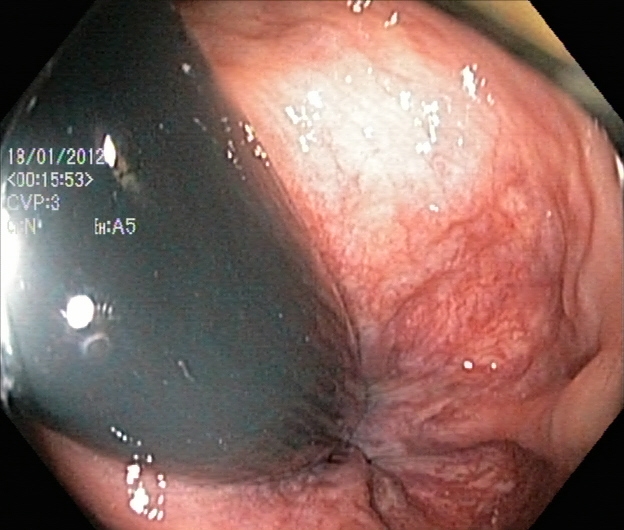PROCEDURE: Lower gastrointestinal endoscopy.
FINDINGS: Rectum in retroflexion.